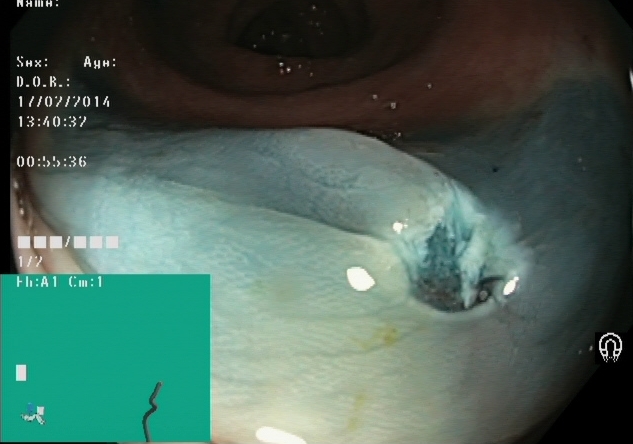Endoscopic frame of the lower GI tract showing dyed resection margins (post-polypectomy).